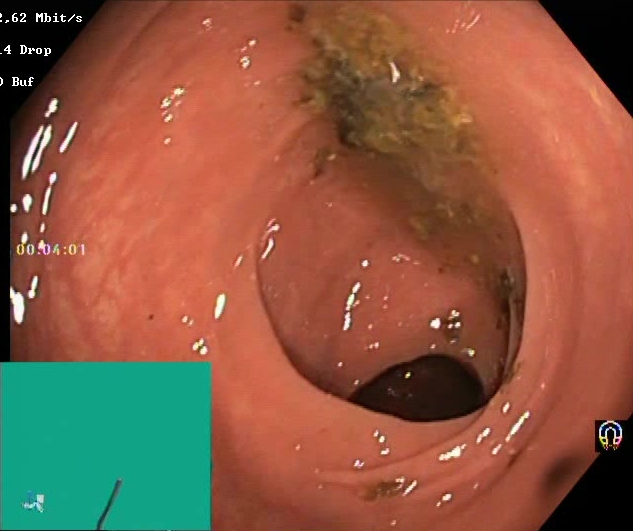PROCEDURE: Lower-GI endoscopy.
CATEGORY: Mucosal-view quality.
FINDINGS: Boston Bowel Preparation Scale score 0–1 (inadequate preparation).